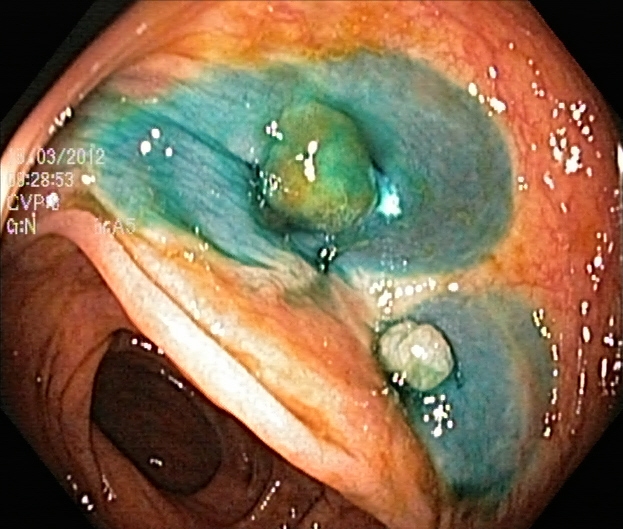Dyed and lifted polyp (pre-resection).